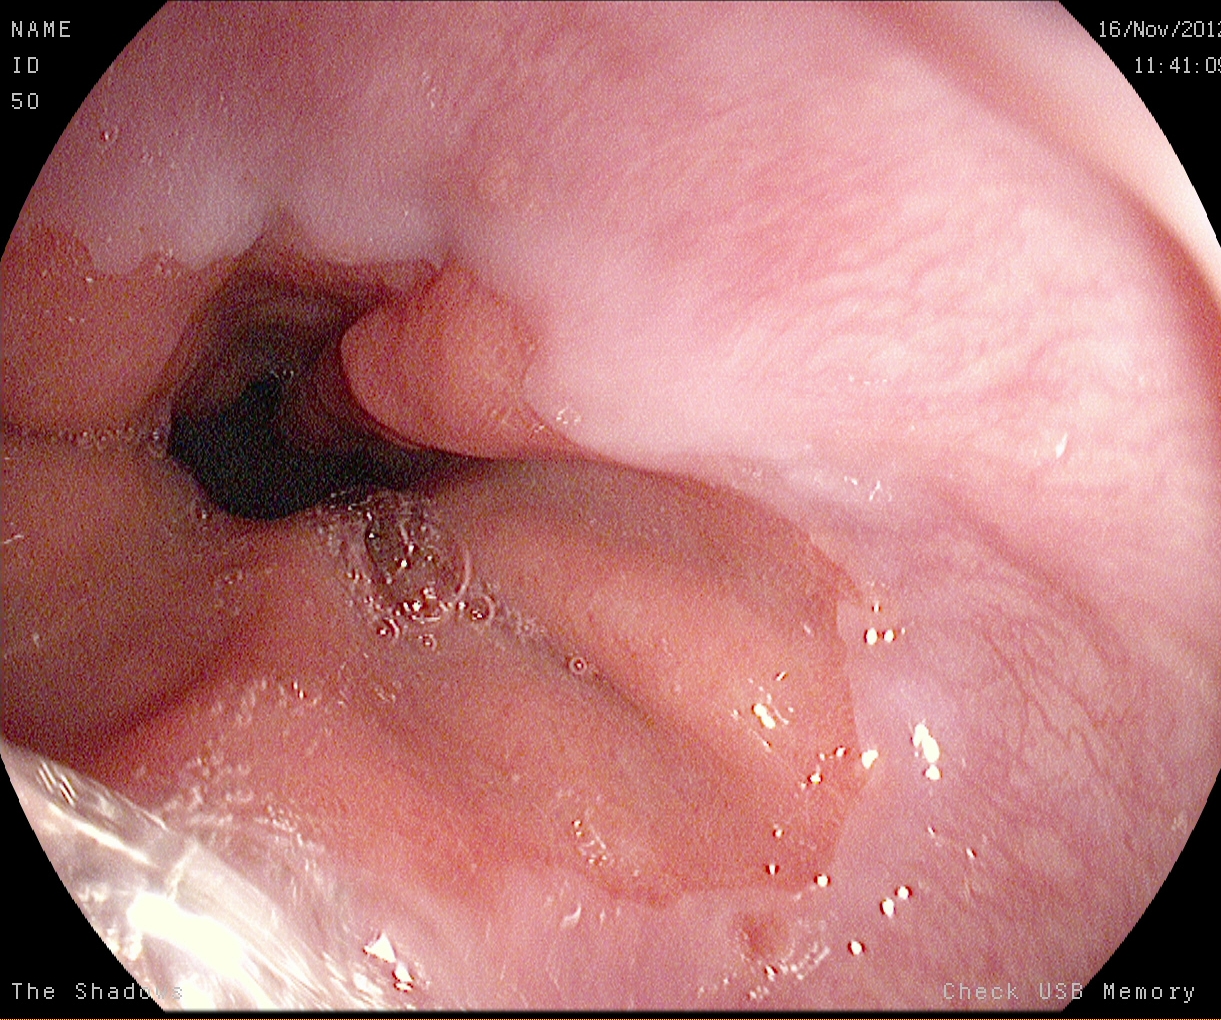EGD — Z-line (gastroesophageal junction).